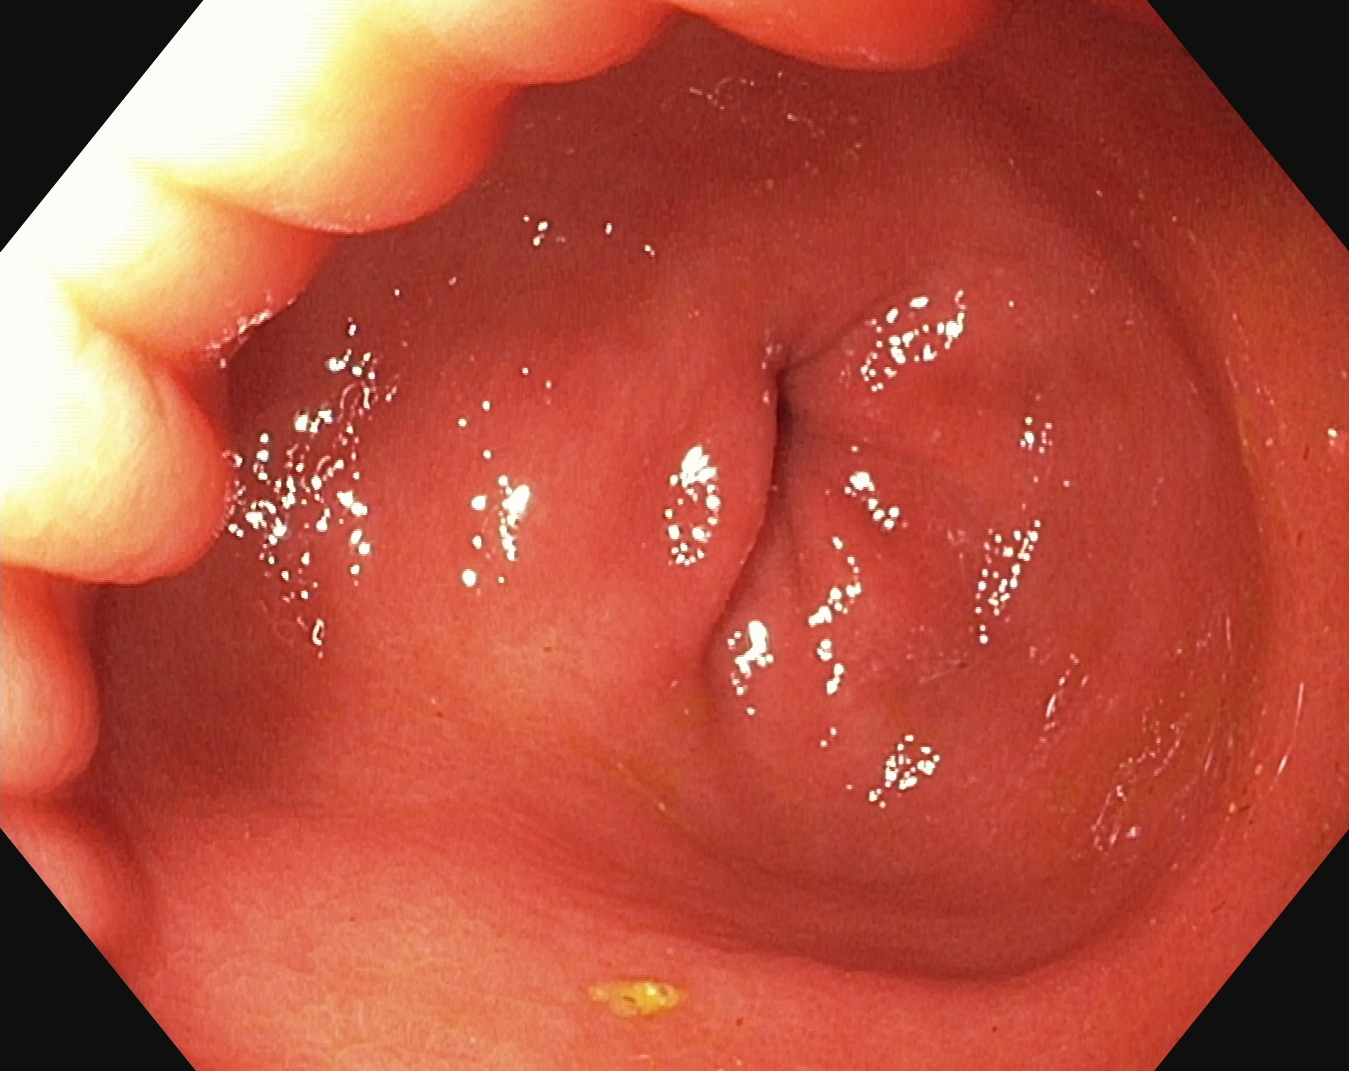Upper-GI endoscopy. Anatomical landmark. Finding: pylorus.